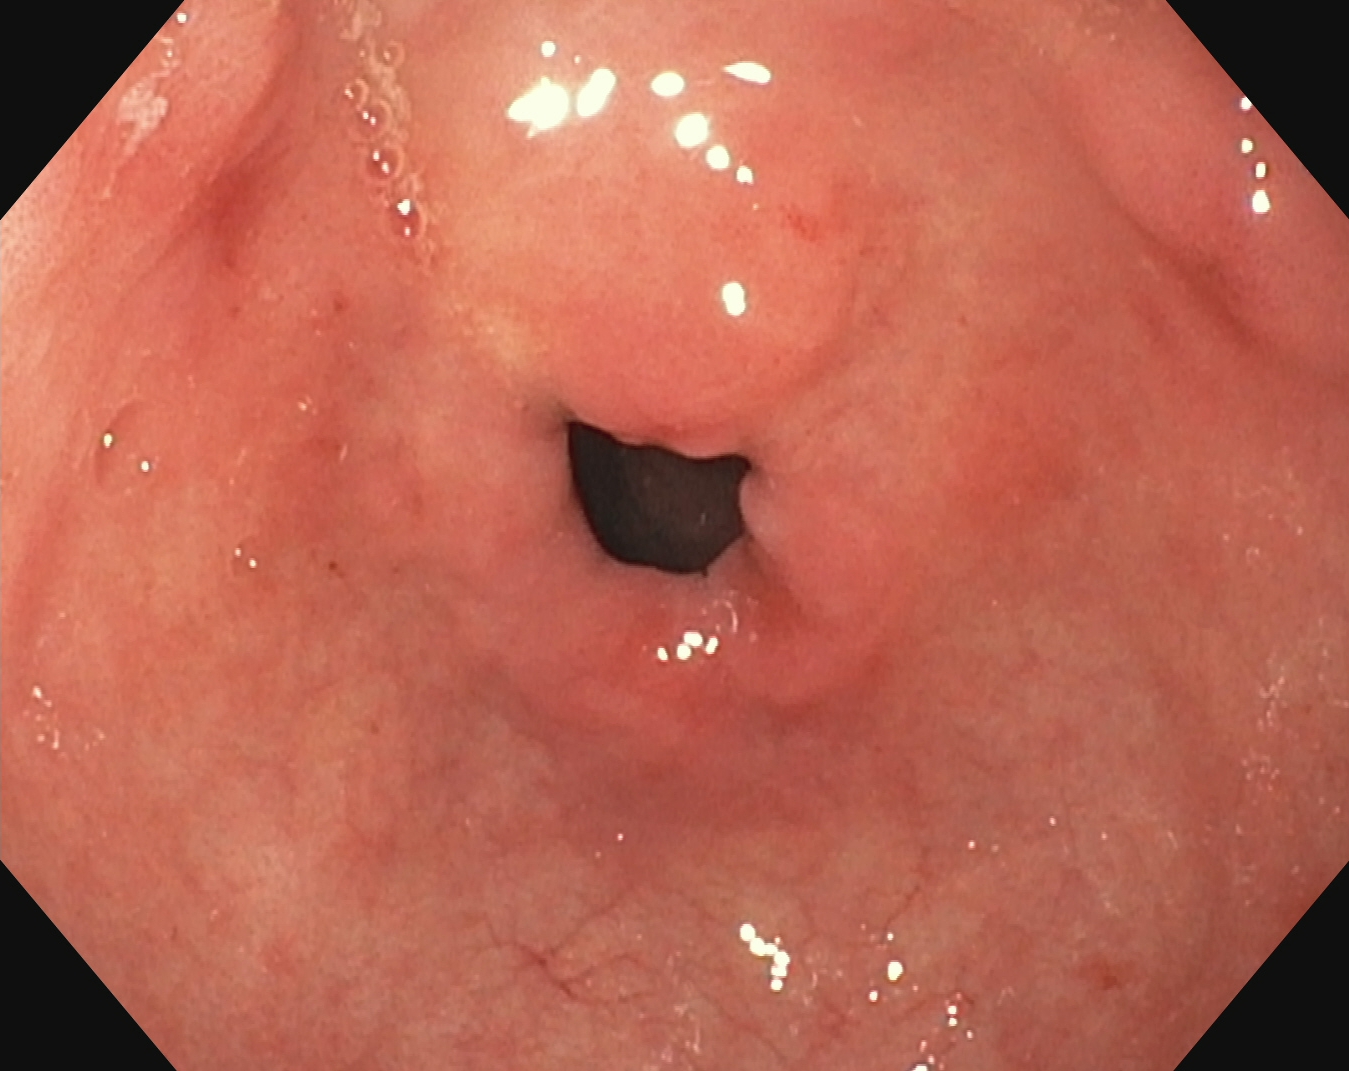Pylorus.